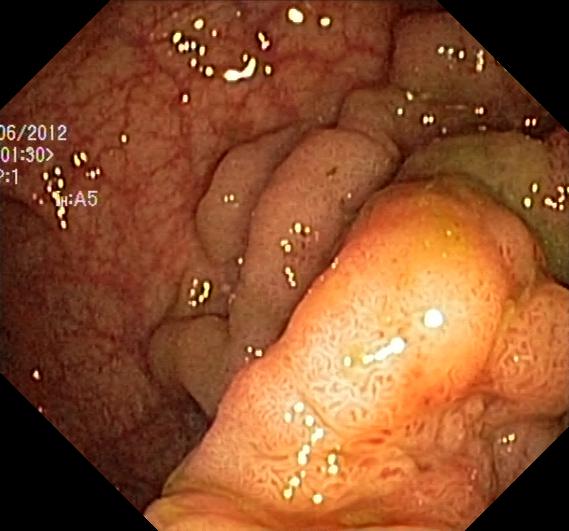{"modality": "lower-GI endoscopy", "tract": "lower GI tract", "finding": "colorectal polyp(s)"}